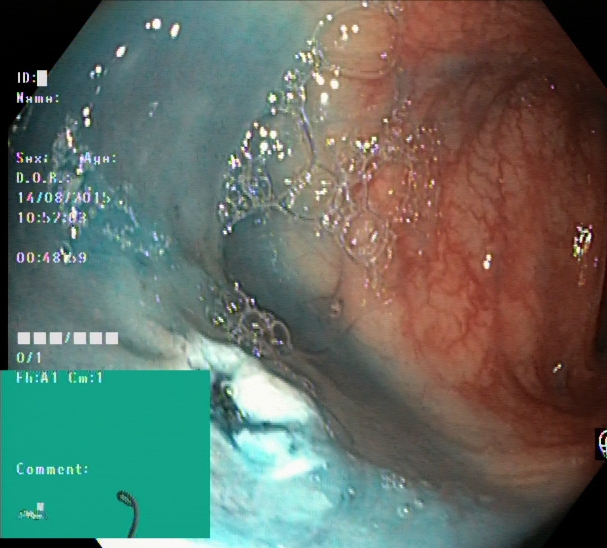Colonoscopy — dyed resection margins (post-polypectomy).